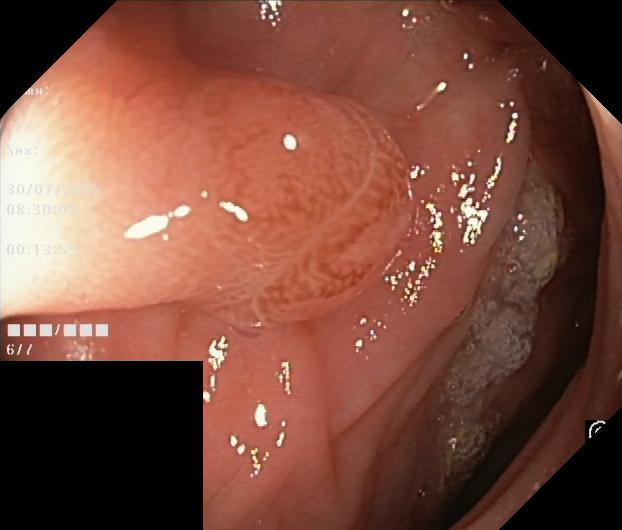modality: colonoscopy
tract: lower GI tract
category: pathological finding
finding: colorectal polyp(s)